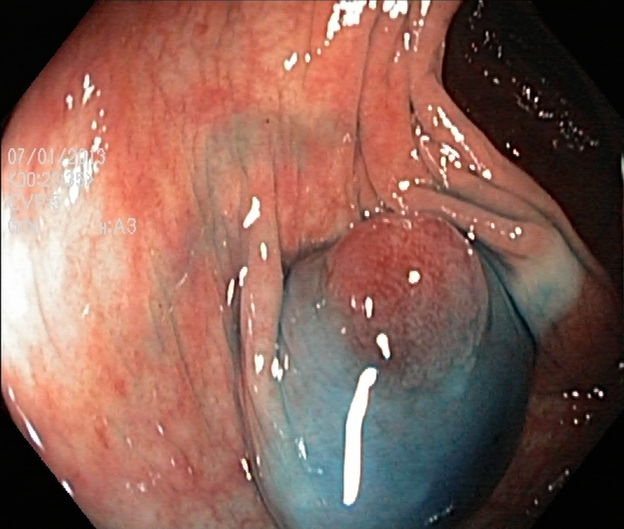Dyed and lifted polyp (pre-resection).